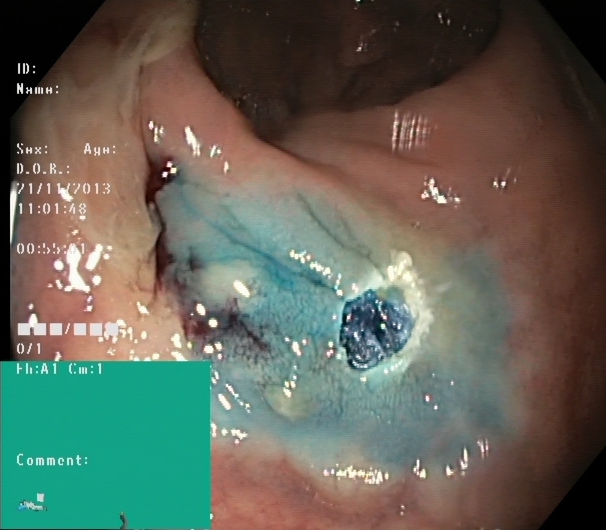Dyed resection margins (post-polypectomy).